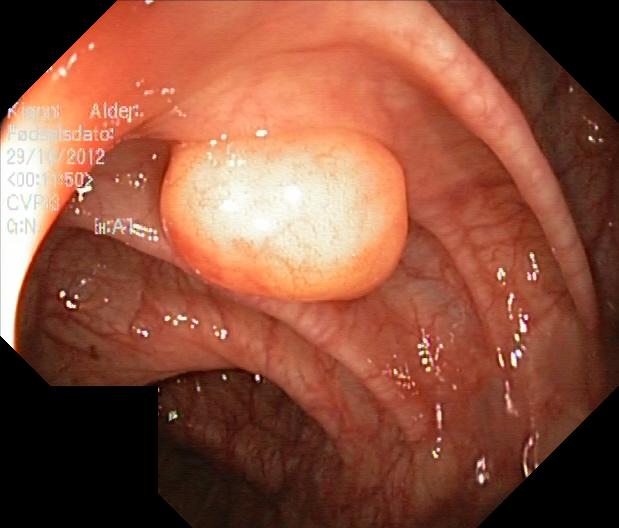modality: lower-GI endoscopy | tract: lower GI tract | category: pathological finding | finding: colorectal polyp(s)